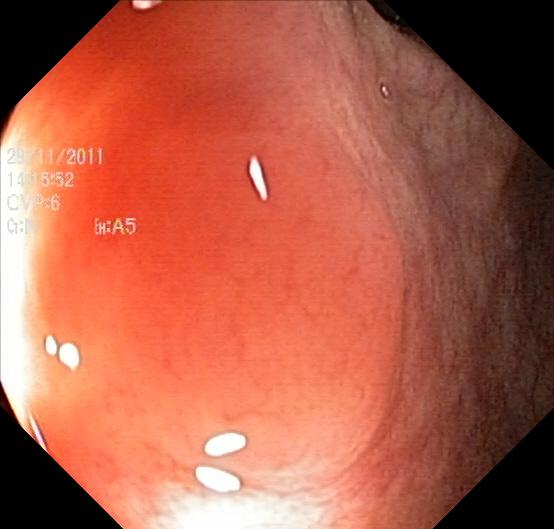modality: colonoscopy
tract: lower GI tract
finding: colorectal polyp(s)